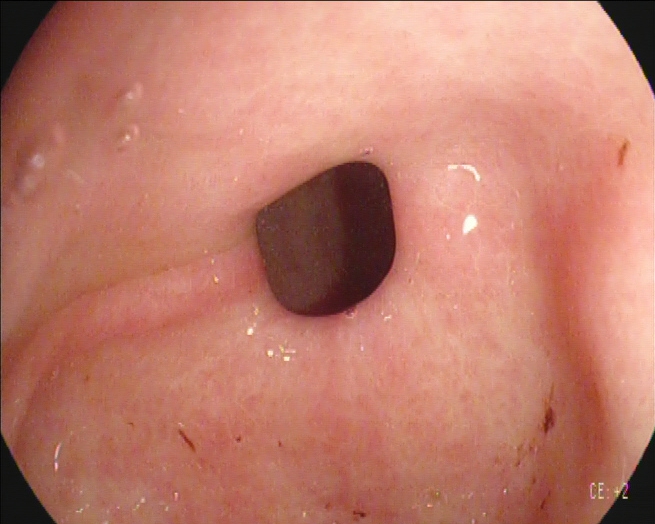Endoscopic image showing pylorus.